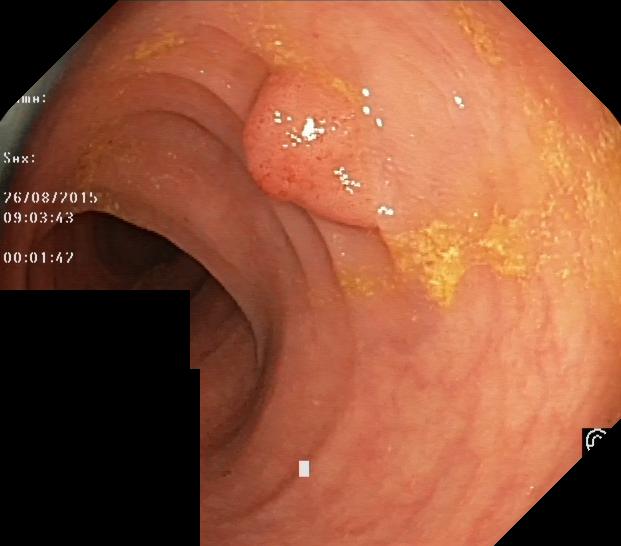PROCEDURE: Lower gastrointestinal endoscopy.
FINDINGS: Colorectal polyp(s).